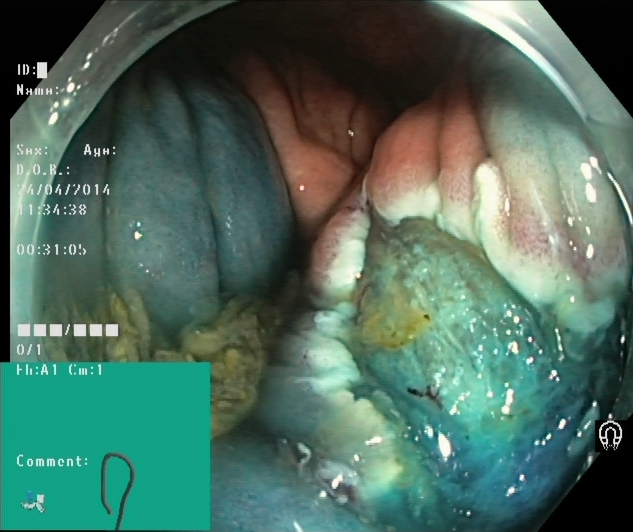PROCEDURE: Colonoscopy.
FINDINGS: Dyed resection margins (post-polypectomy).